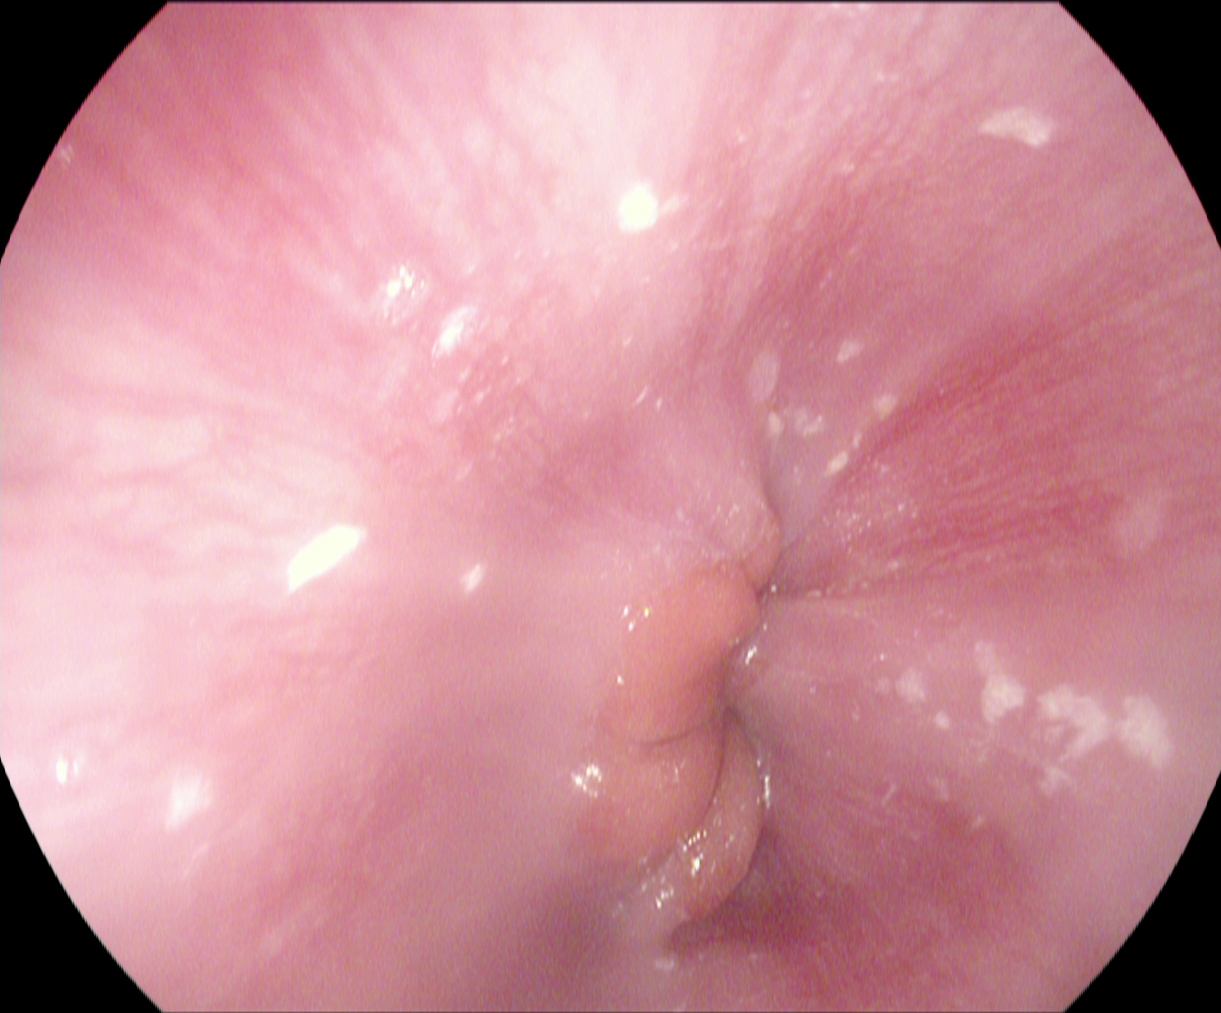Z-line (gastroesophageal junction).